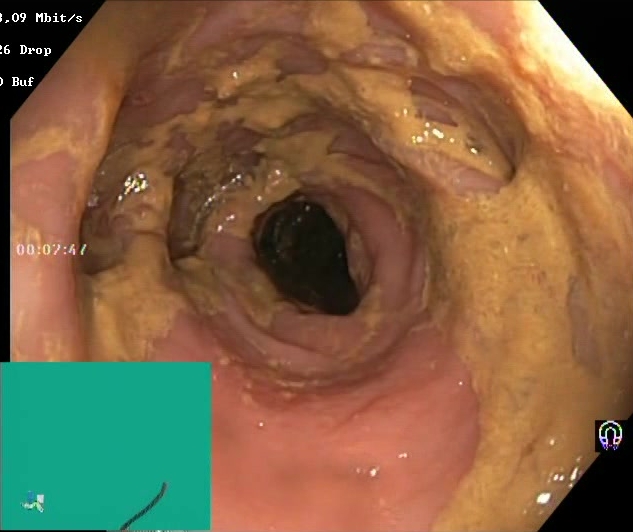Boston Bowel Preparation Scale score 0–1 (inadequate preparation).